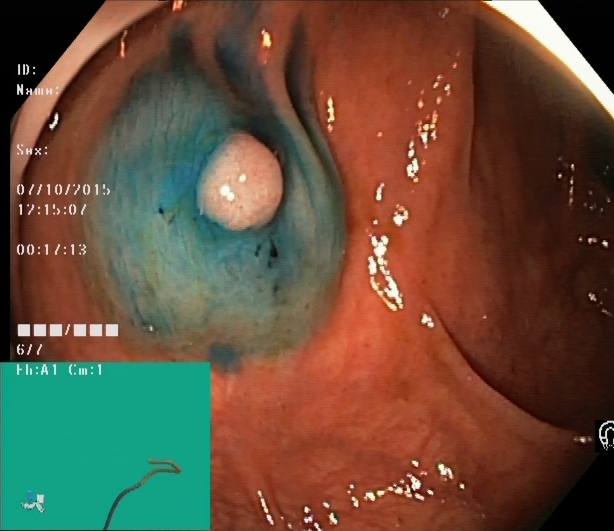This endoscopic image shows dyed and lifted polyp (pre-resection).